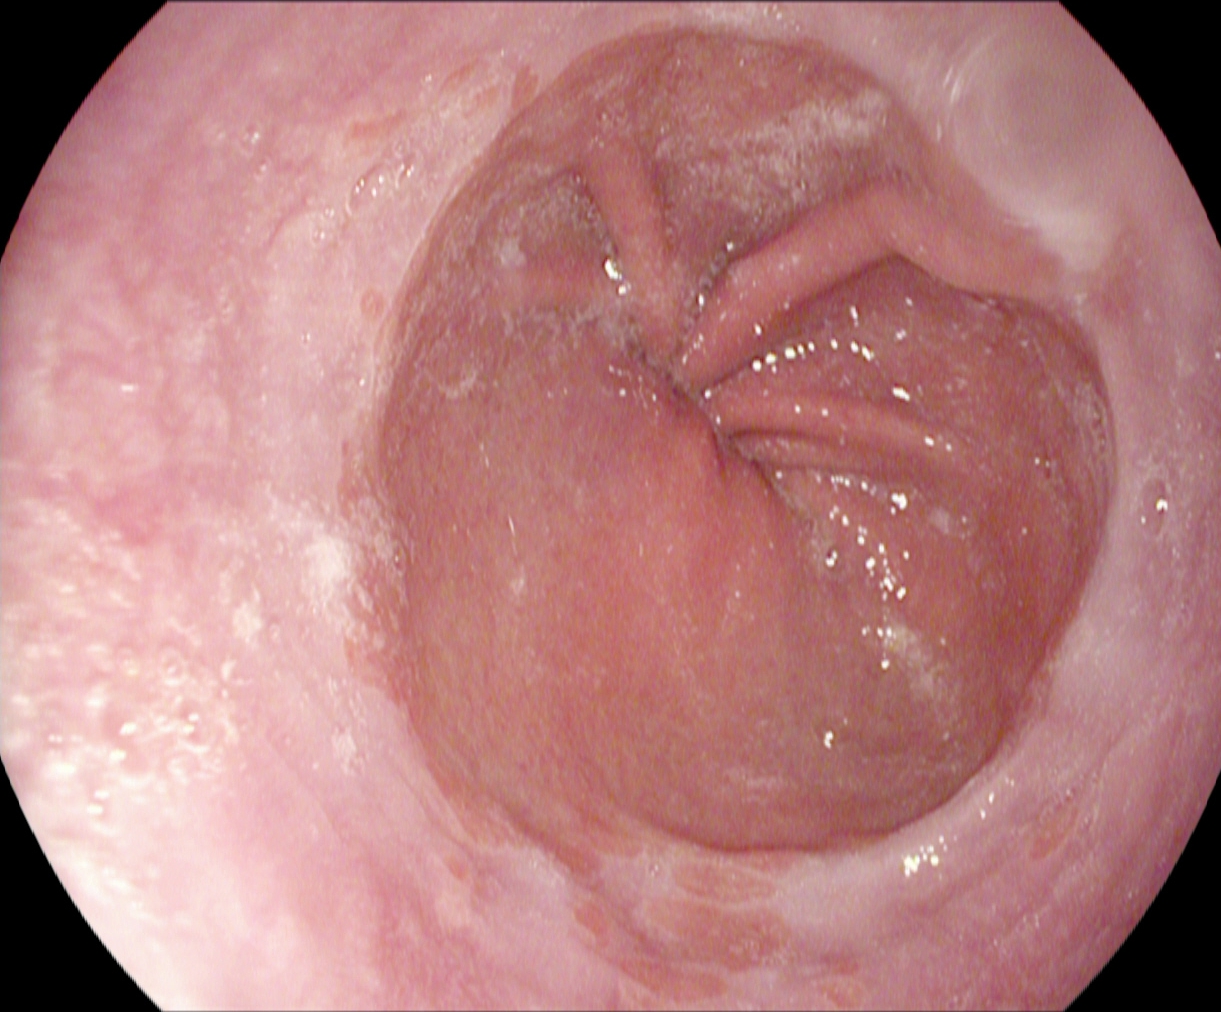Upper-GI endoscopy. Anatomical landmark. Finding: Z-line (gastroesophageal junction).